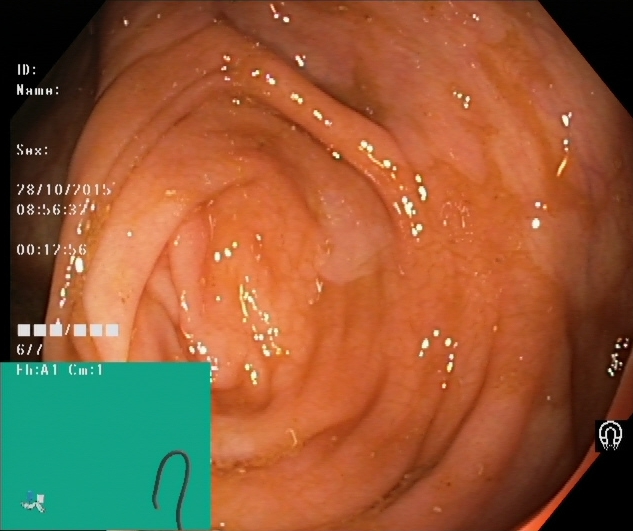{"modality": "colonoscopy", "tract": "lower GI tract", "category": "anatomical landmark", "finding": "cecum"}